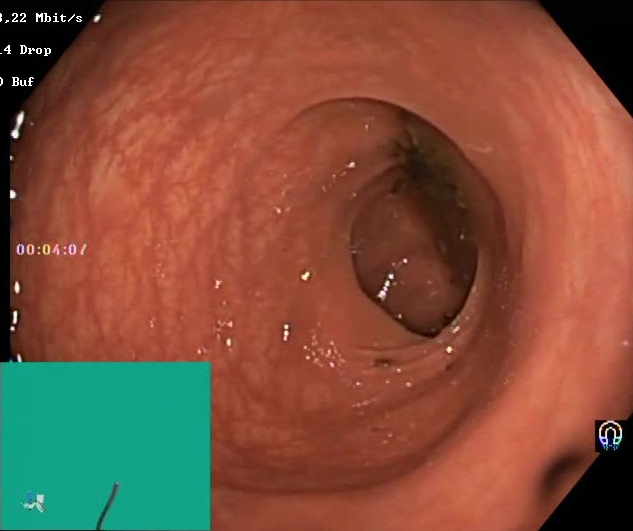{"modality": "lower-GI endoscopy", "tract": "lower GI tract", "category": "mucosal-view quality", "finding": "Boston Bowel Preparation Scale score 0\u20131 (inadequate preparation)"}